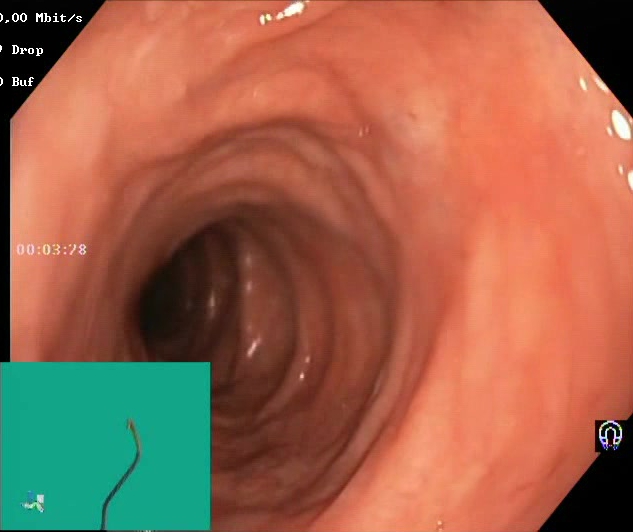Boston Bowel Preparation Scale score 2–3 (adequate preparation).